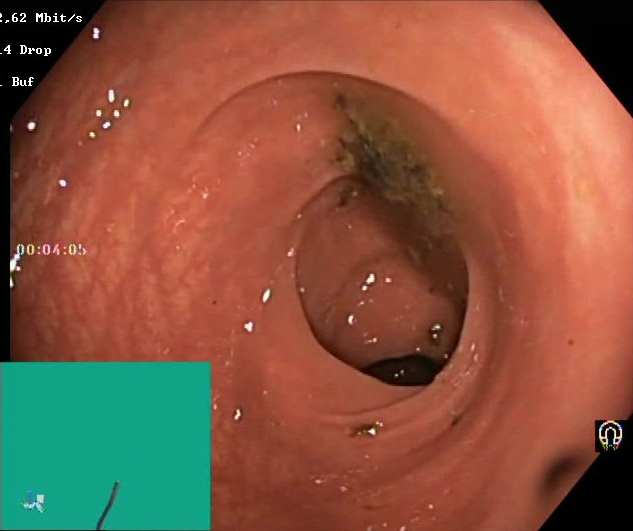Lower gastrointestinal endoscopy — Boston Bowel Preparation Scale score 0–1 (inadequate preparation).